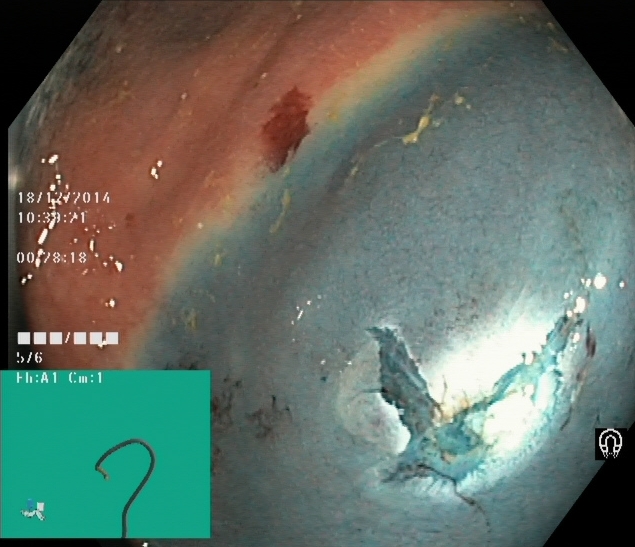Colonoscopy — dyed resection margins (post-polypectomy).